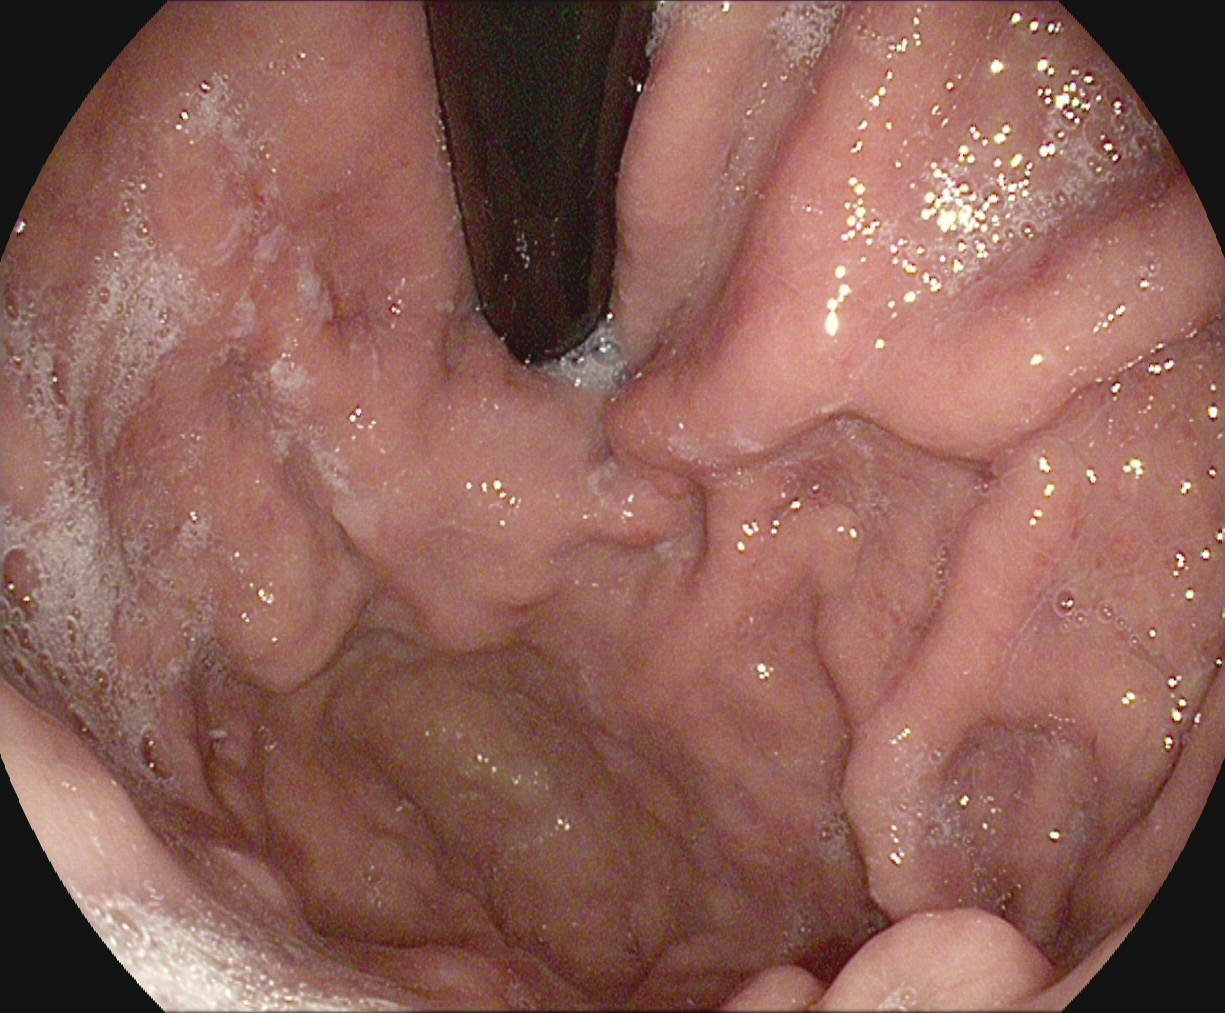Stomach in retroflexion.